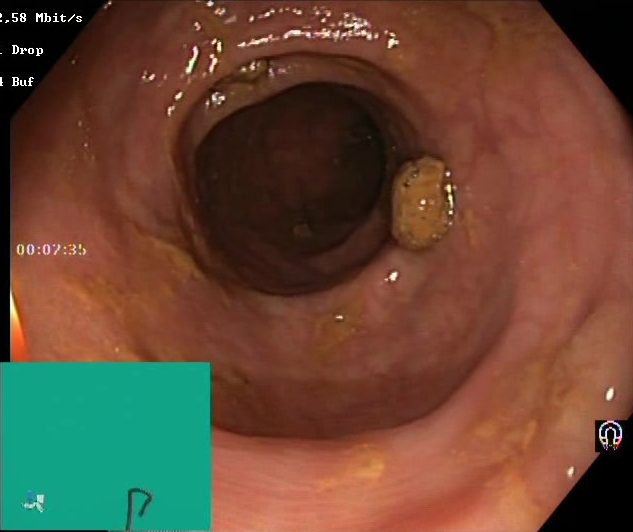{"modality": "colonoscopy", "finding": "BBPS score 2\u20133 (adequate preparation)"}